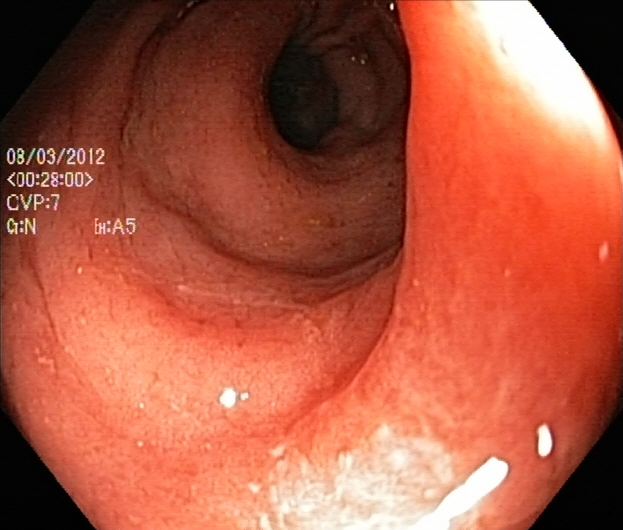modality: lower gastrointestinal endoscopy | finding: ulcerative colitis, Mayo endoscopic subscore 2